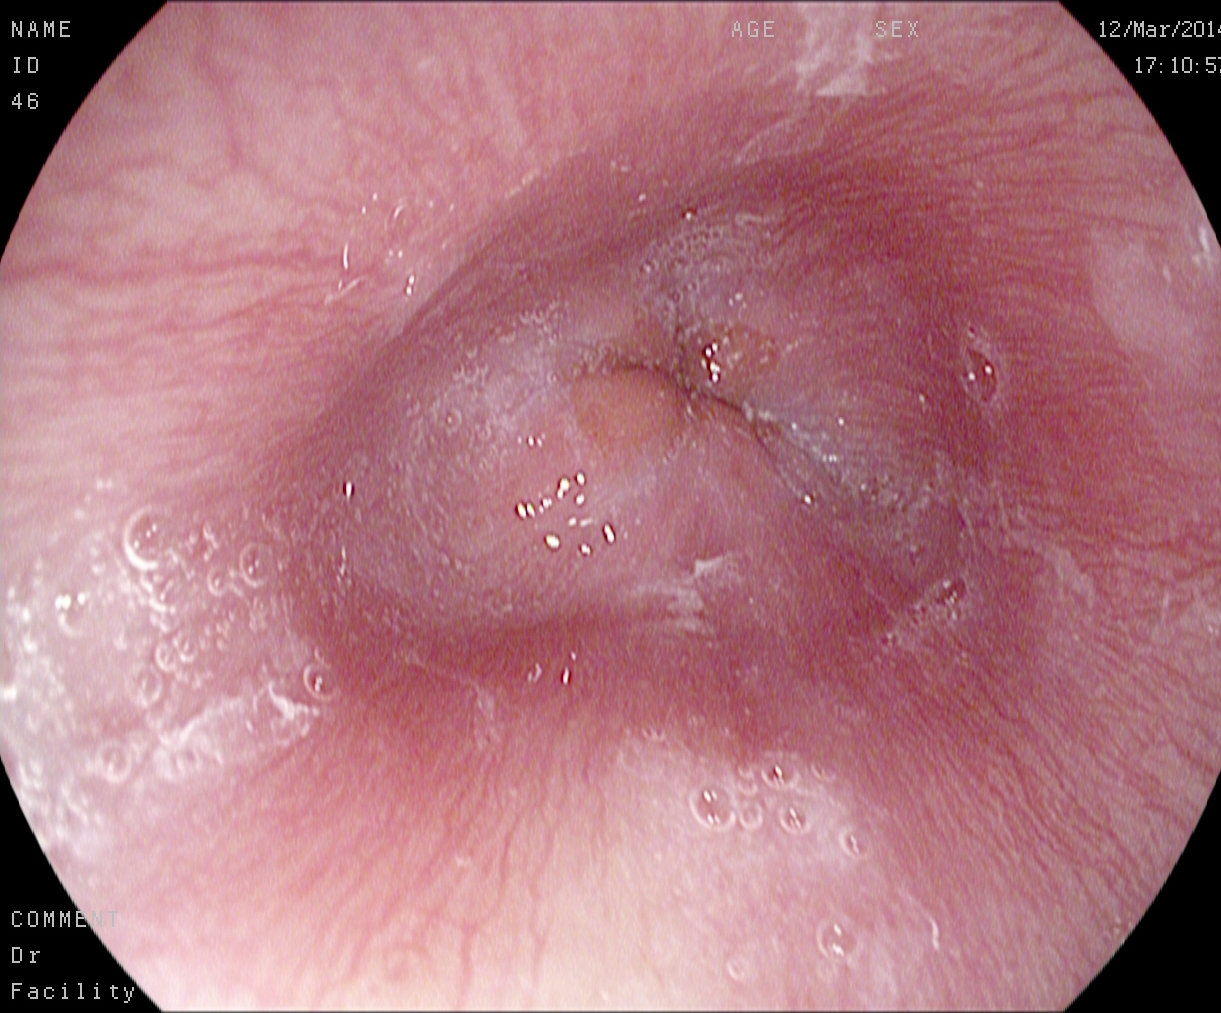Upper-GI endoscopy. Finding: Z-line (gastroesophageal junction).